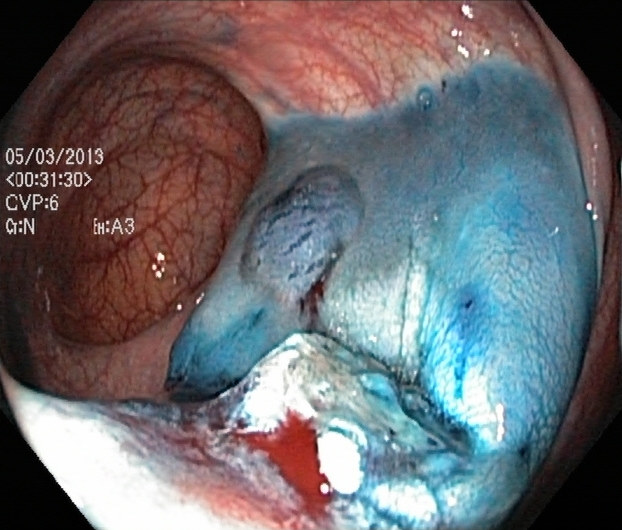Colonoscopy. Therapeutic intervention. Finding: dyed resection margins (post-polypectomy).